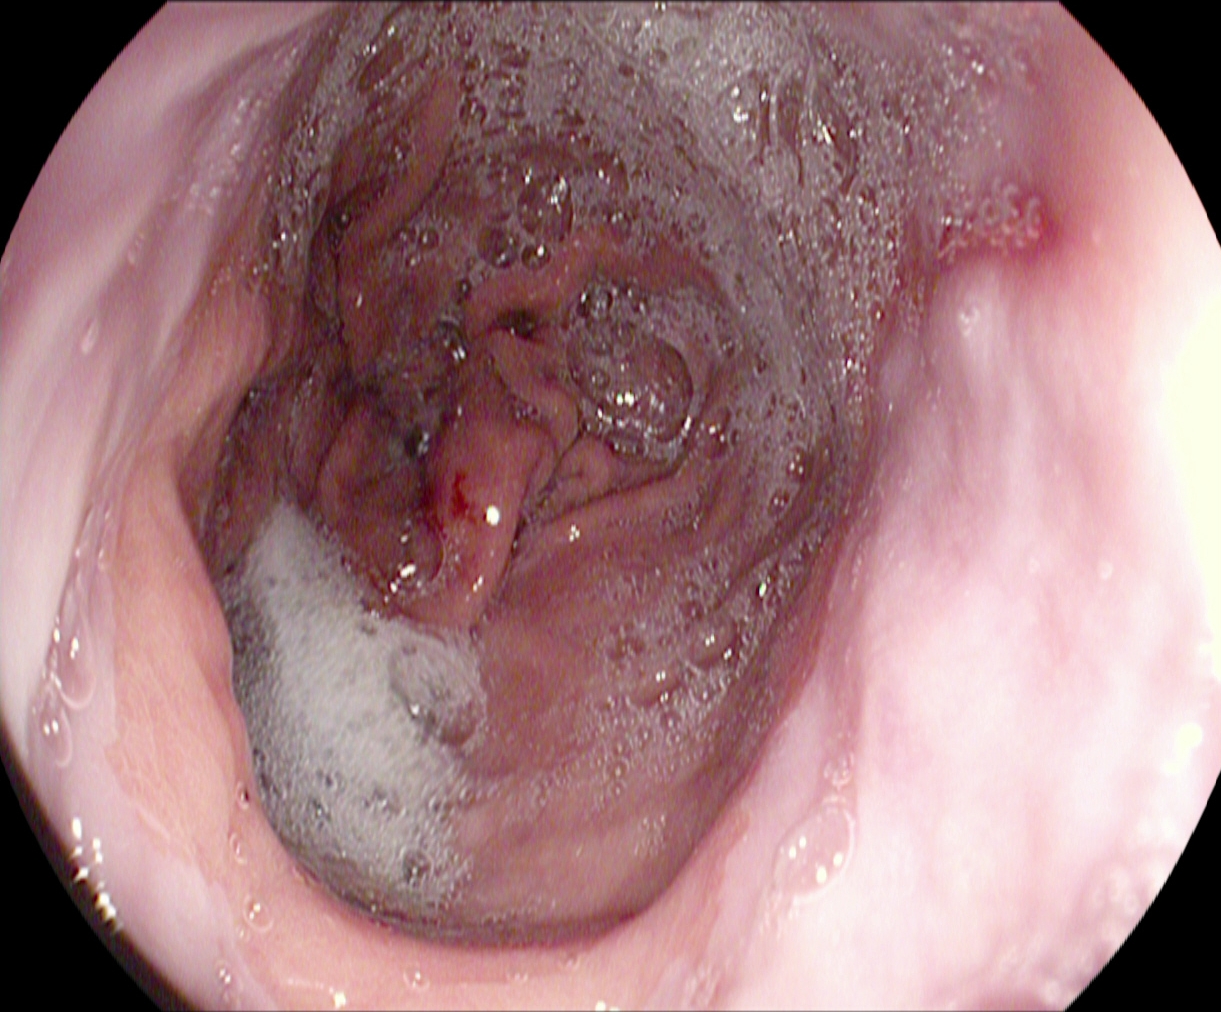This endoscopy frame of the upper GI tract shows reflux esophagitis, Los Angeles grade A.